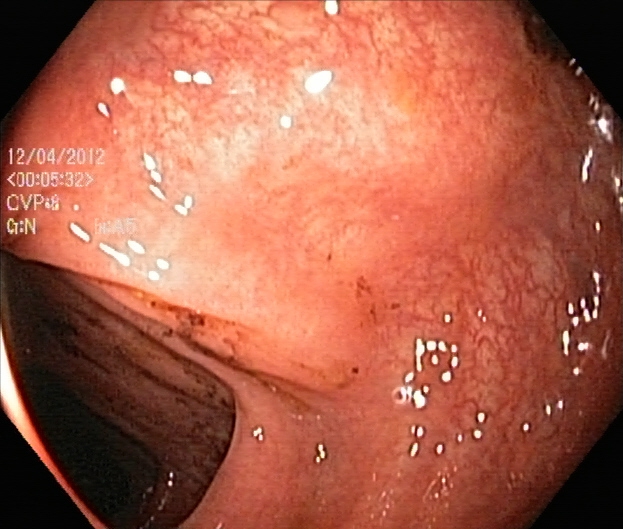Lower gastrointestinal endoscopy. Tract: lower GI tract. Finding: UC, Mayo endoscopic subscore 1.